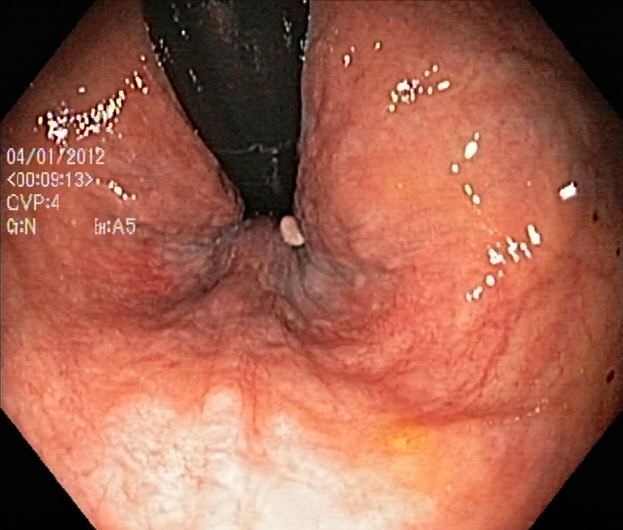PROCEDURE: Colonoscopy.
FINDINGS: Rectum in retroflexion.